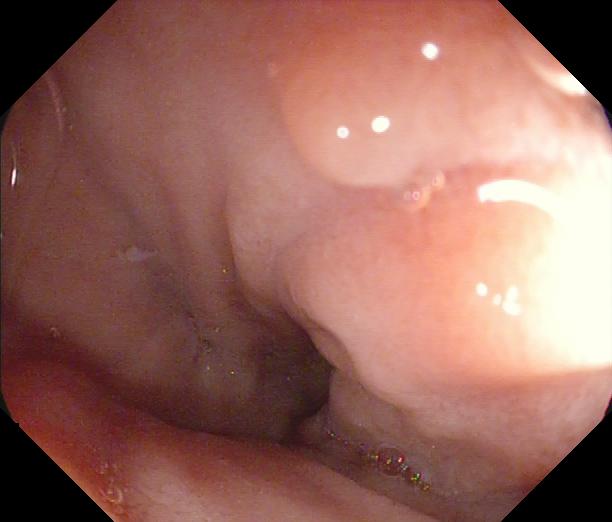PROCEDURE: Lower-GI endoscopy.
FINDINGS: Colorectal polyp(s).